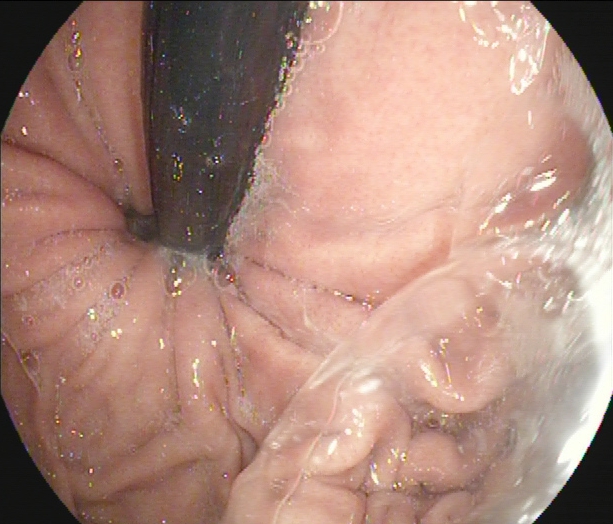{"modality": "esophagogastroduodenoscopy", "finding": "stomach in retroflexion"}